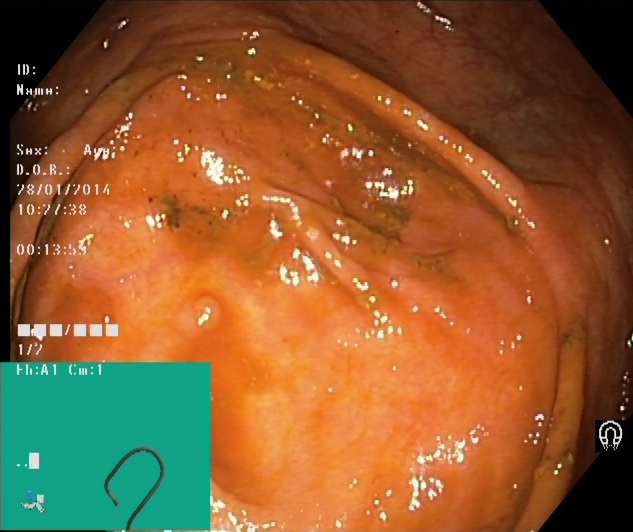Colonoscopy. Anatomical landmark. Finding: cecum.